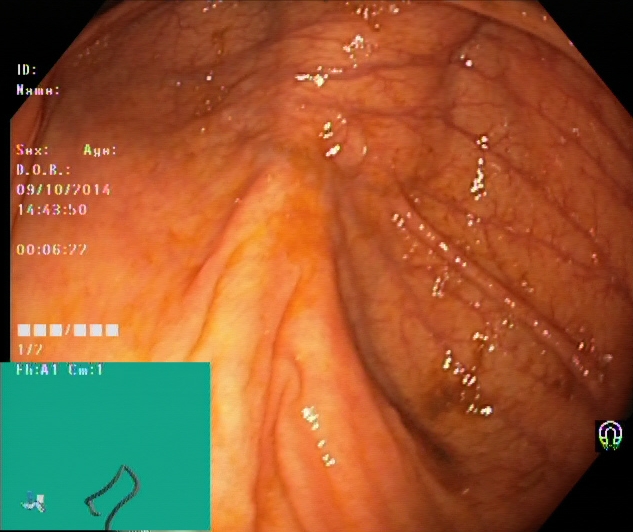Colonoscopy — cecum.